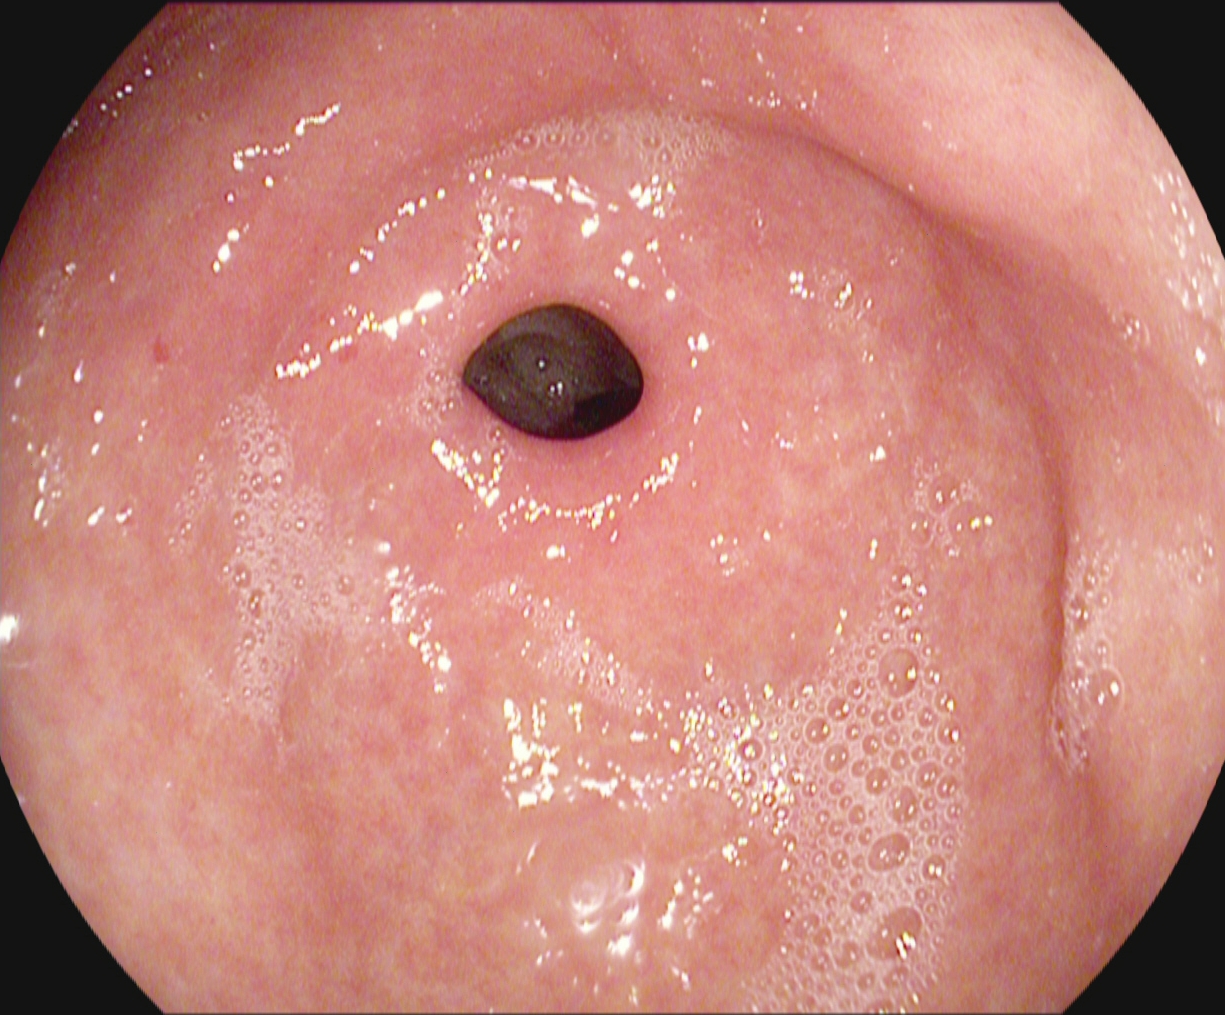This endoscopic image of the upper GI tract shows pylorus.